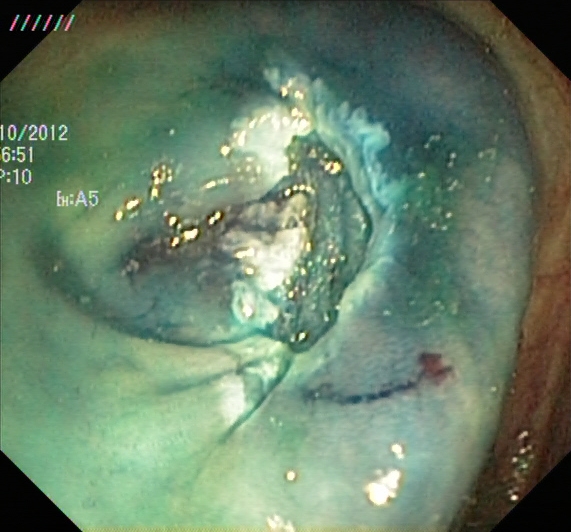{"modality": "lower-GI endoscopy", "category": "therapeutic intervention", "finding": "dyed resection margins (post-polypectomy)"}